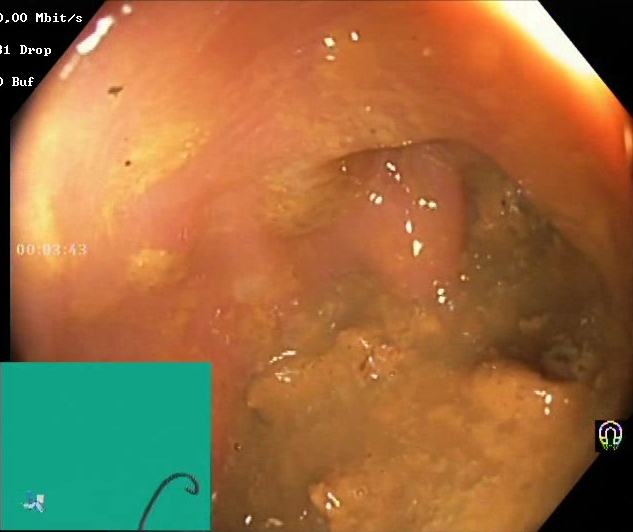modality: lower-GI endoscopy
tract: lower GI tract
category: mucosal-view quality
finding: Boston Bowel Preparation Scale score 0–1 (inadequate preparation)